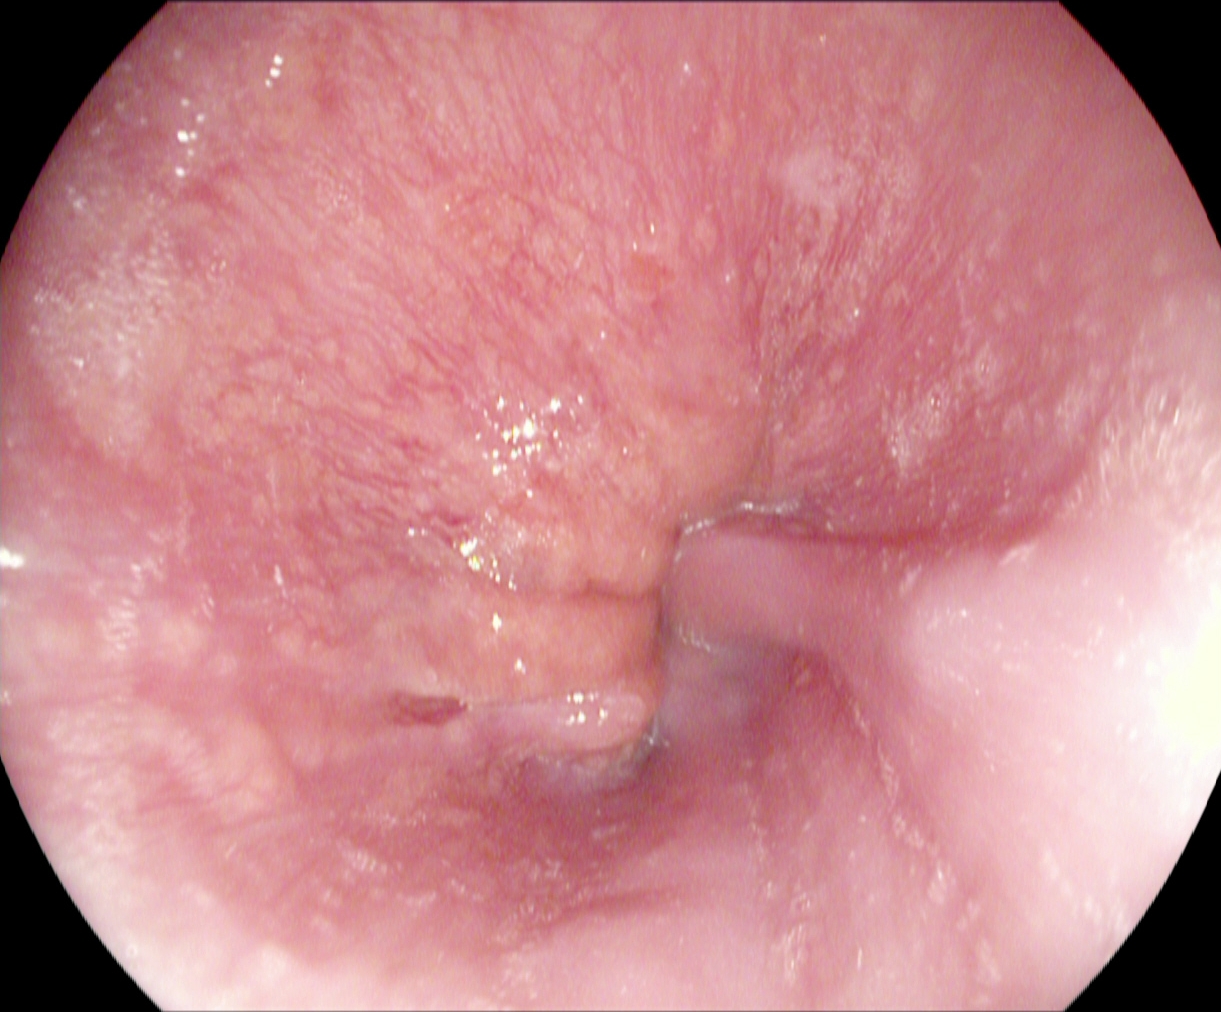This endoscopic image of the upper GI tract shows Z-line (gastroesophageal junction).